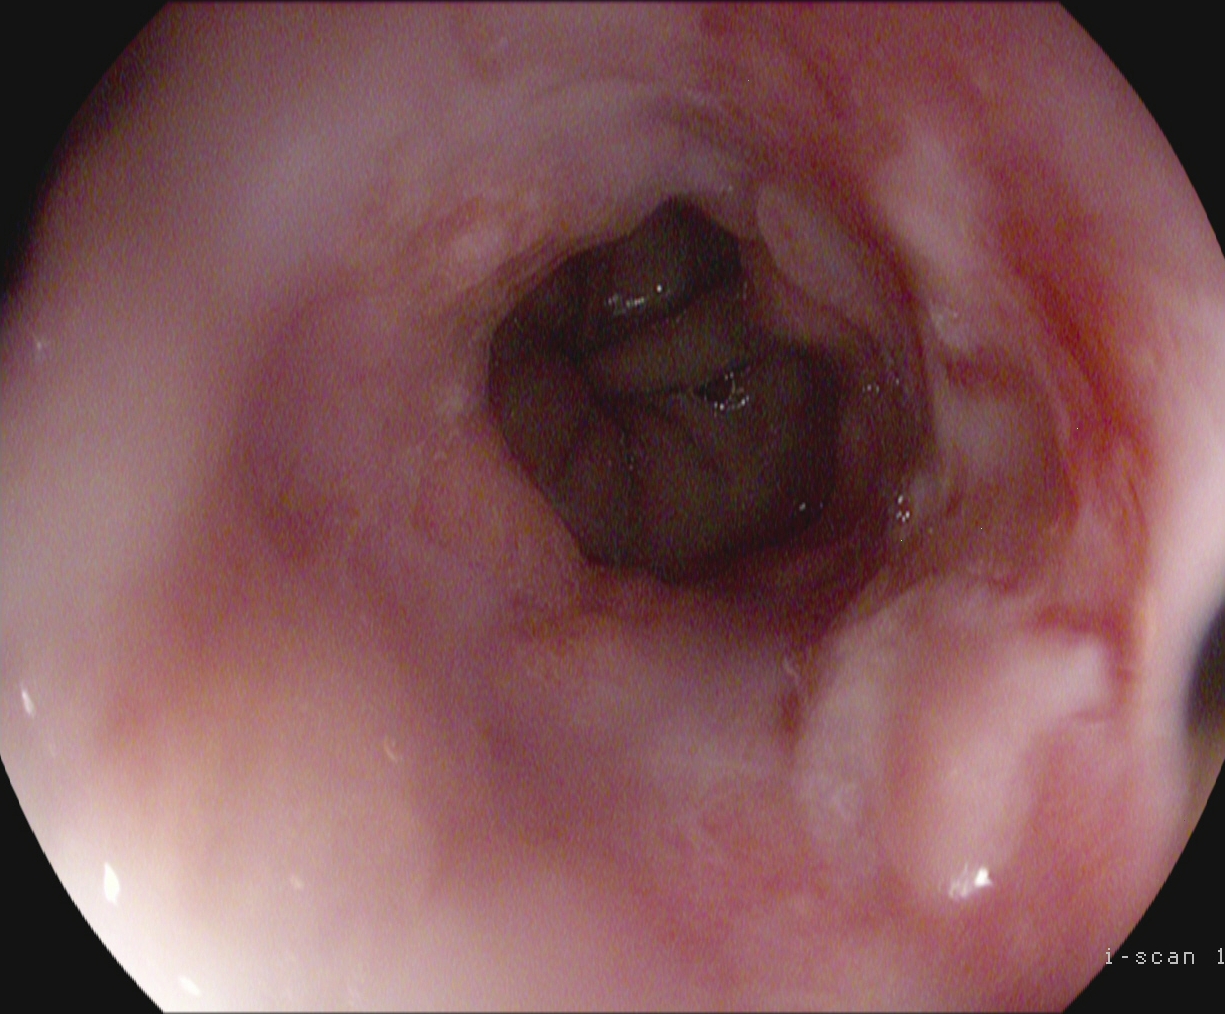{"modality": "esophagogastroduodenoscopy", "tract": "upper GI tract", "category": "pathological finding", "finding": "reflux esophagitis, Los Angeles grade B\u2013D"}